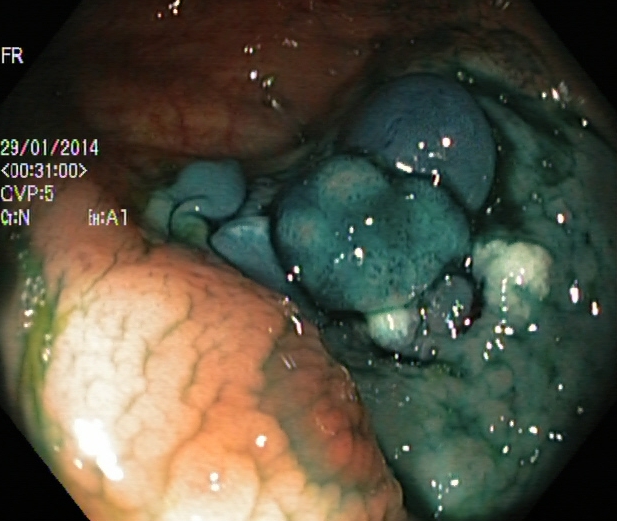Endoscopic frame showing dyed and lifted polyp (pre-resection).